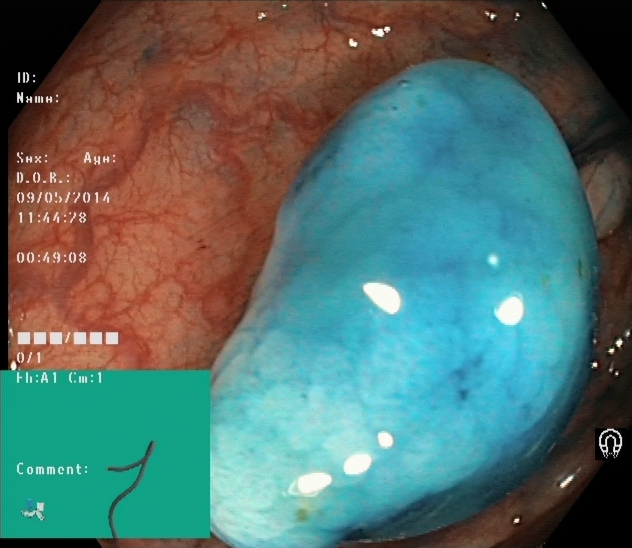Lower gastrointestinal endoscopy — dyed and lifted polyp (pre-resection).